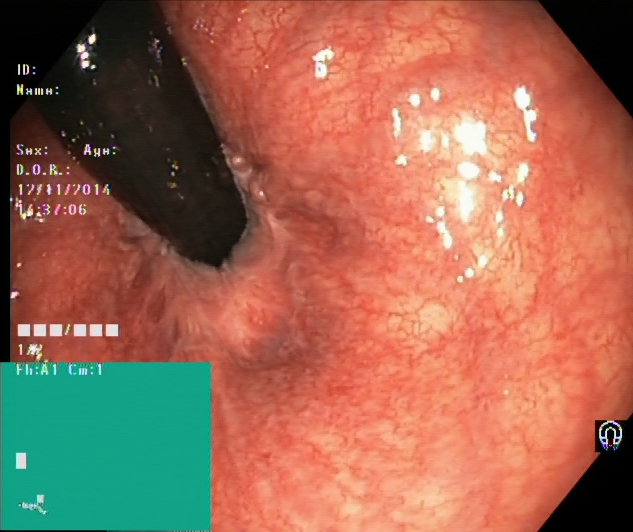Gastrointestinal endoscopy image showing rectum in retroflexion.